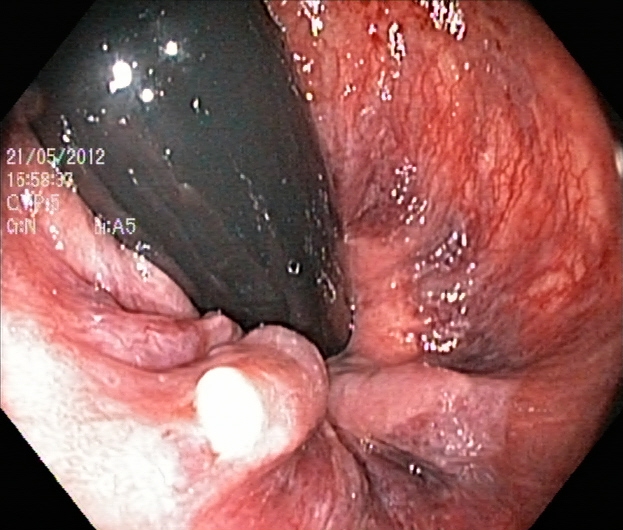{"modality": "lower gastrointestinal endoscopy", "tract": "lower GI tract", "finding": "rectum in retroflexion"}